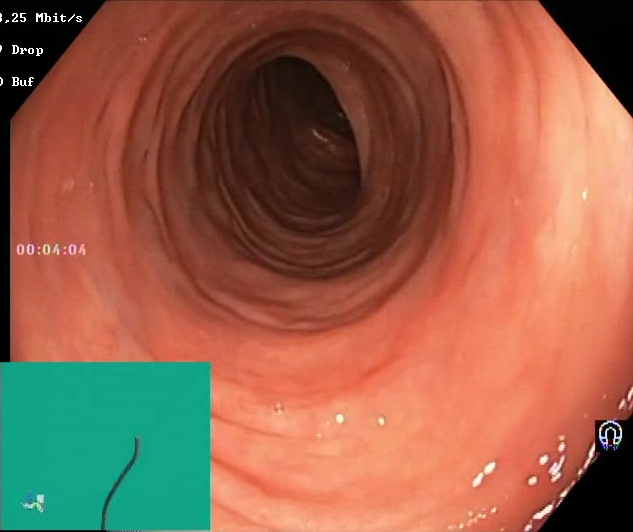Colonoscopy — BBPS score 2–3 (adequate preparation).